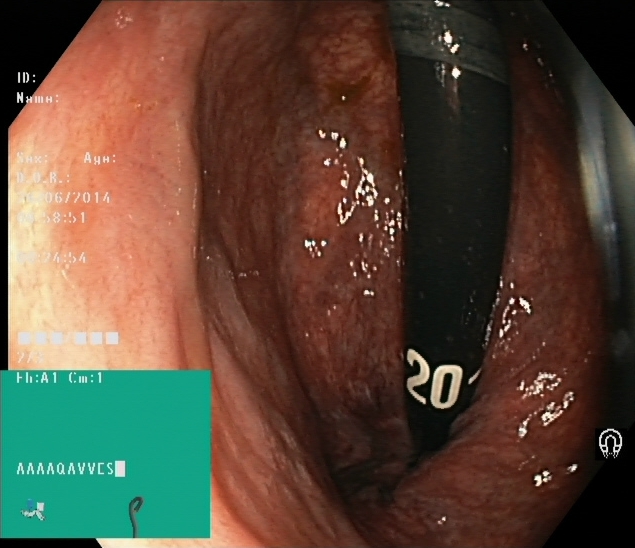This endoscopy frame of the lower GI tract shows rectum in retroflexion.